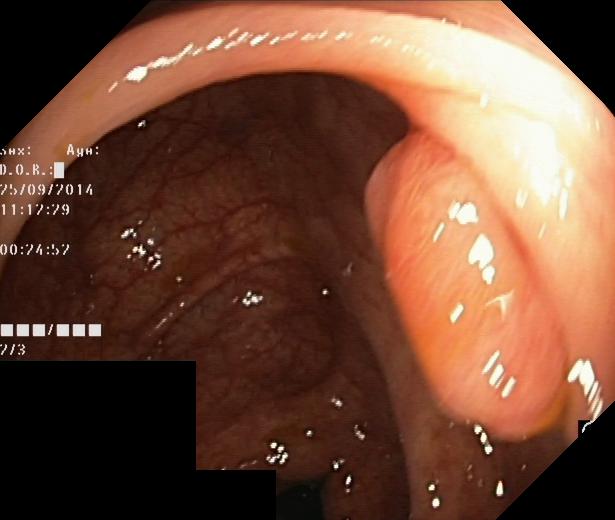{"modality": "colonoscopy", "tract": "lower GI tract", "finding": "colorectal polyp(s)"}